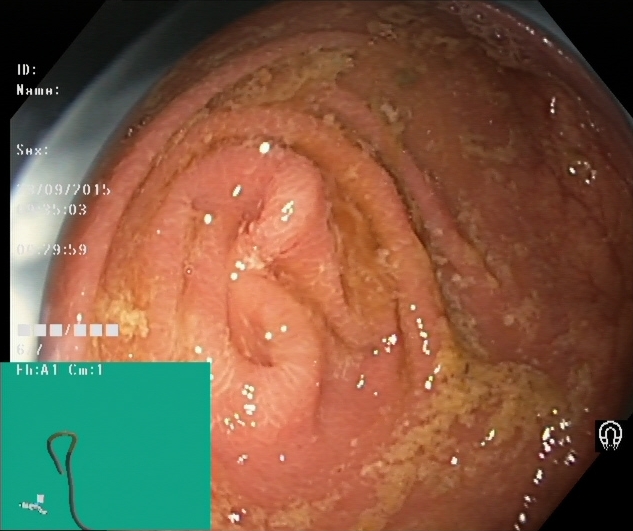This endoscopic image of the lower GI tract shows cecum.